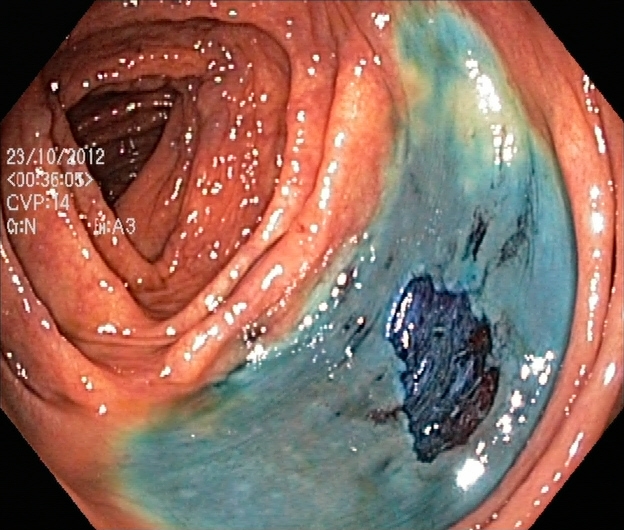Lower gastrointestinal endoscopy — dyed resection margins (post-polypectomy).